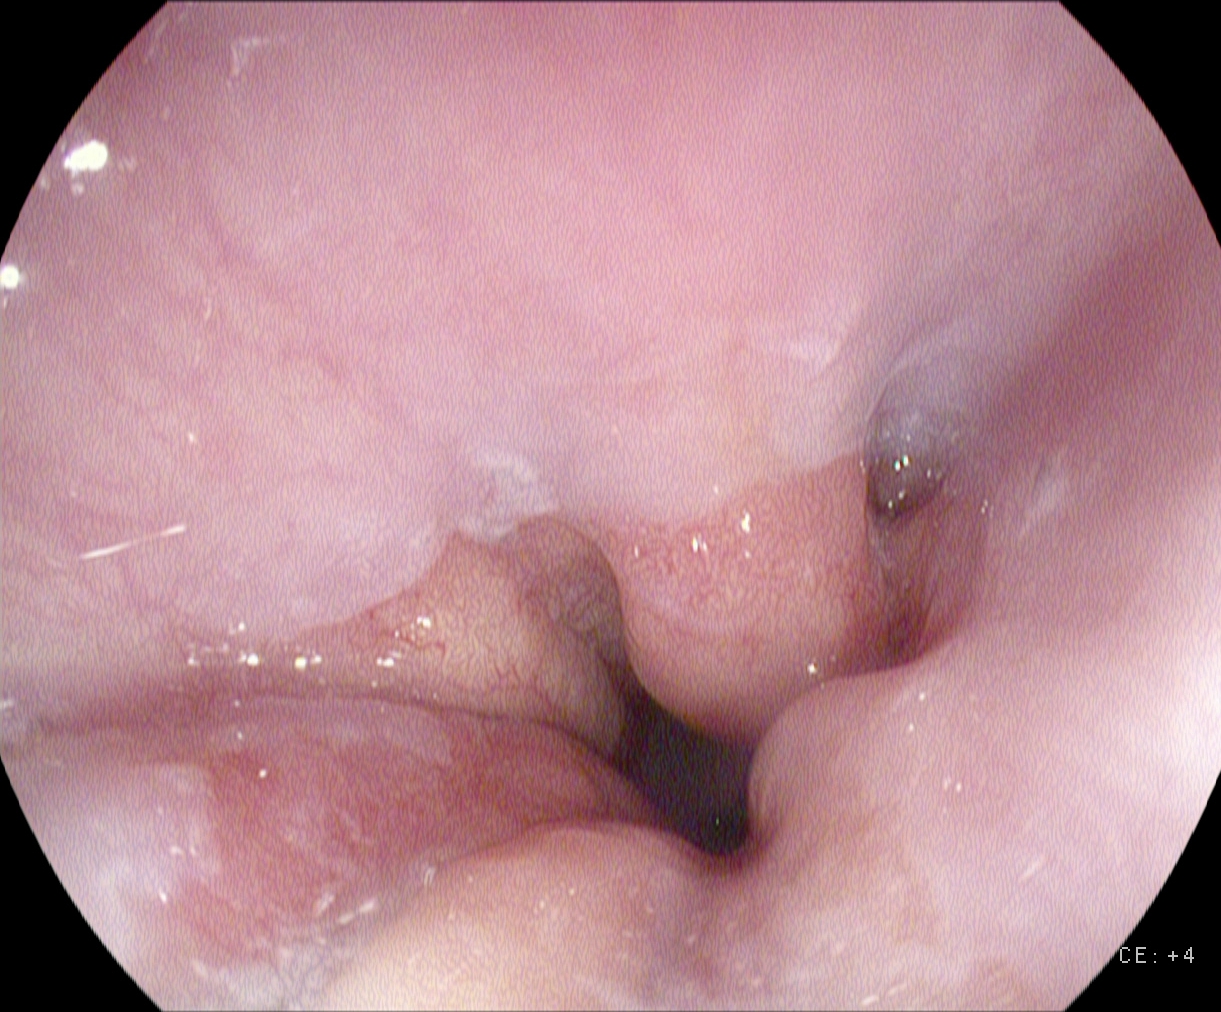PROCEDURE: Upper-GI endoscopy.
CATEGORY: Anatomical landmark.
FINDINGS: Z-line (gastroesophageal junction).